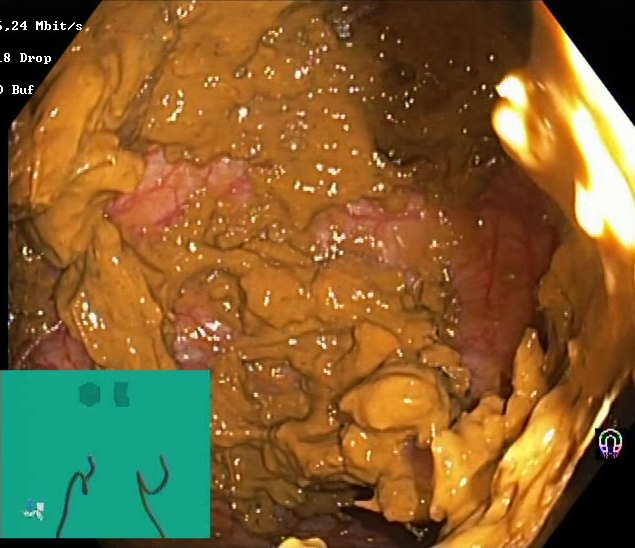Lower-GI endoscopy. Finding: Boston Bowel Preparation Scale score 0–1 (inadequate preparation).